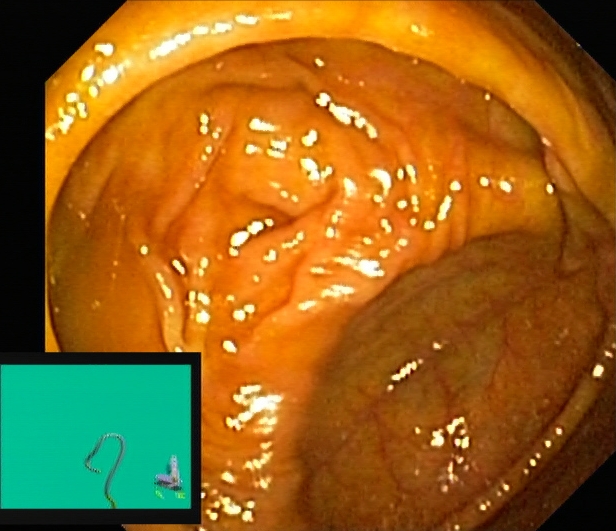Lower gastrointestinal endoscopy. Tract: lower GI tract. Finding: cecum.